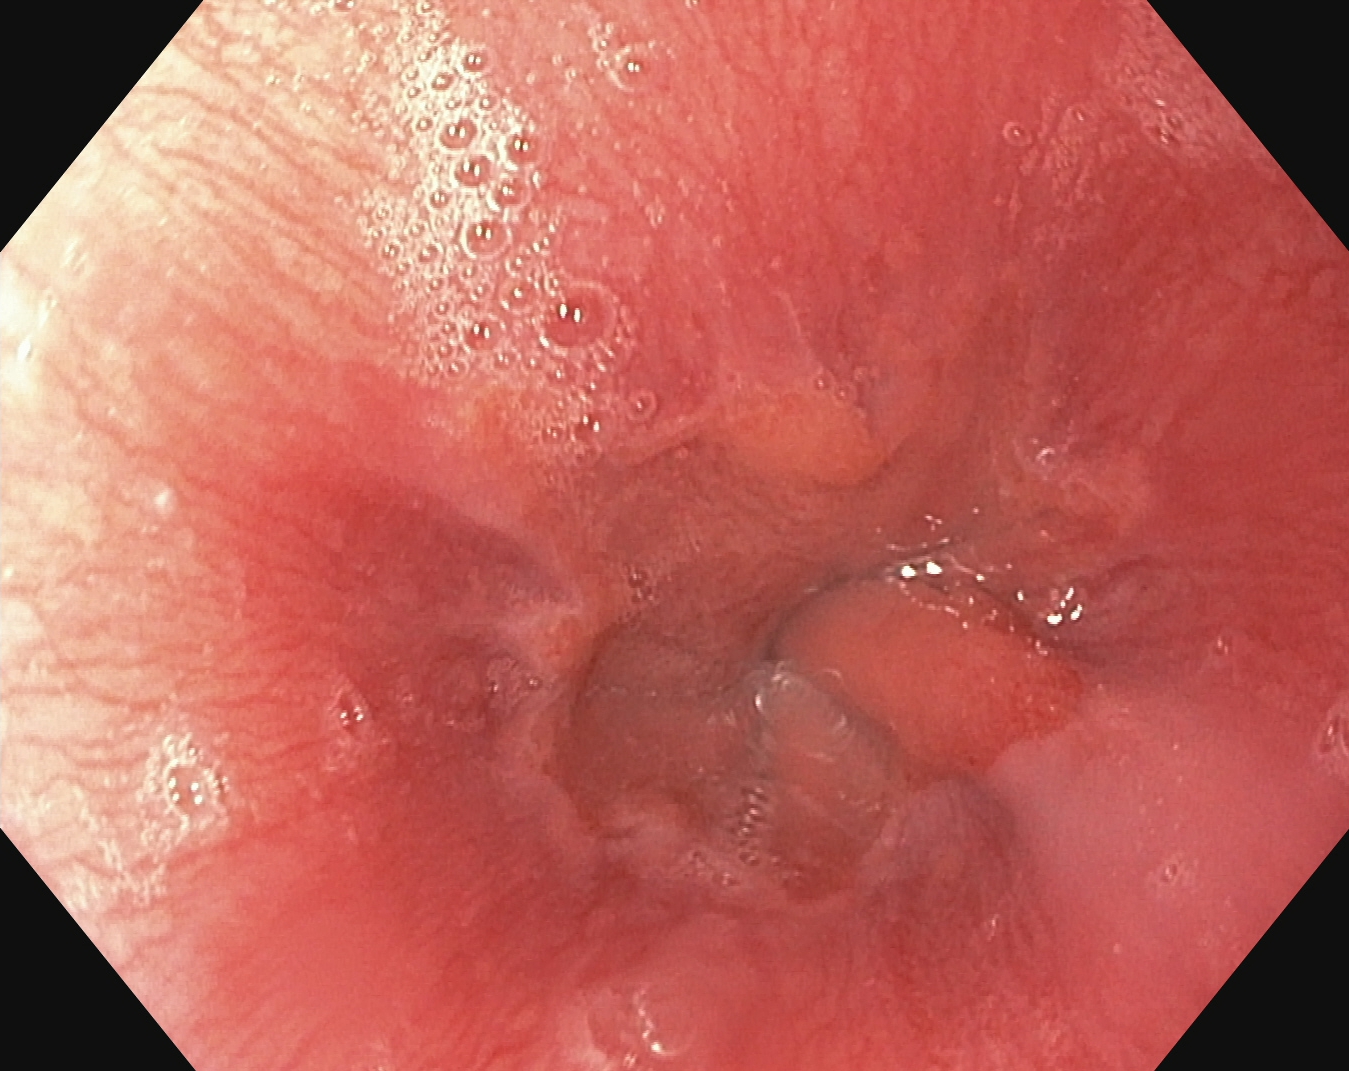Endoscopic image showing Z-line (gastroesophageal junction).